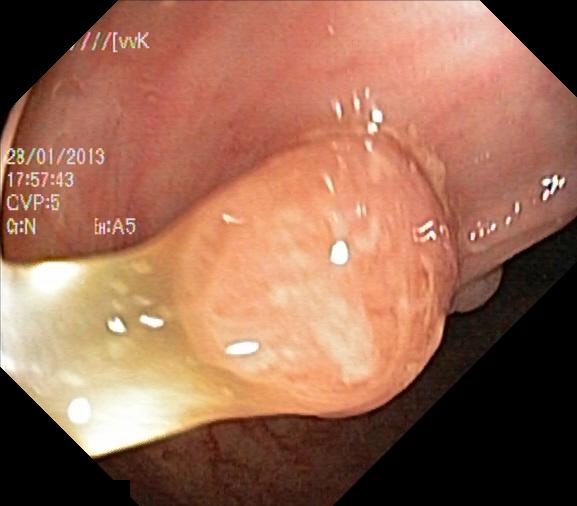Lower gastrointestinal endoscopy. Finding: colorectal polyp(s).